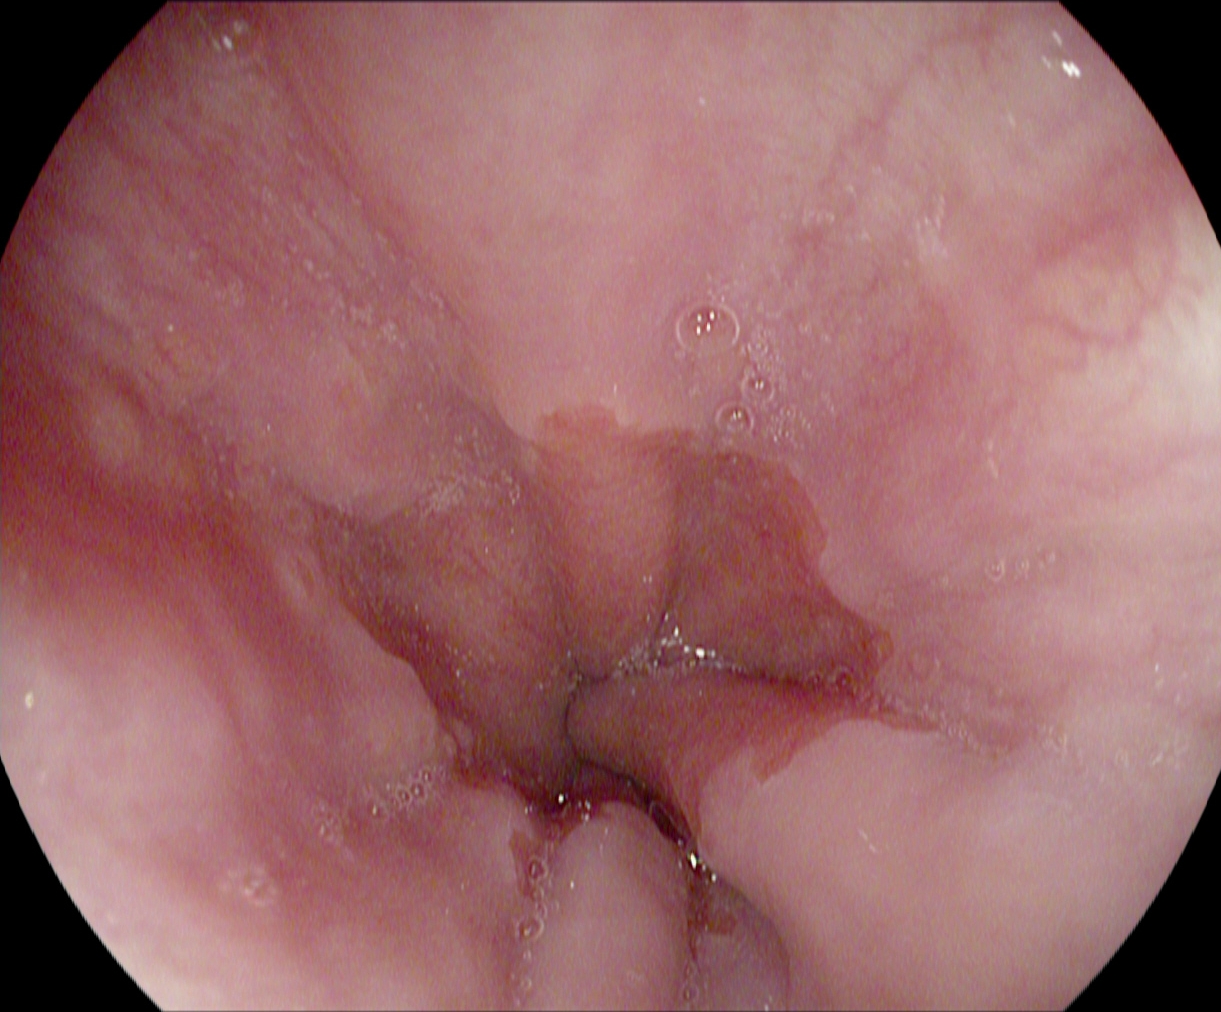{"modality": "gastroscopy", "finding": "Z-line (gastroesophageal junction)"}